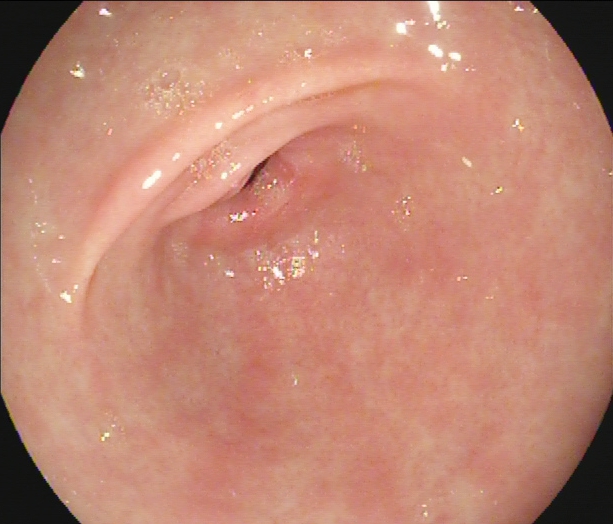EGD image of the upper GI tract showing pylorus.